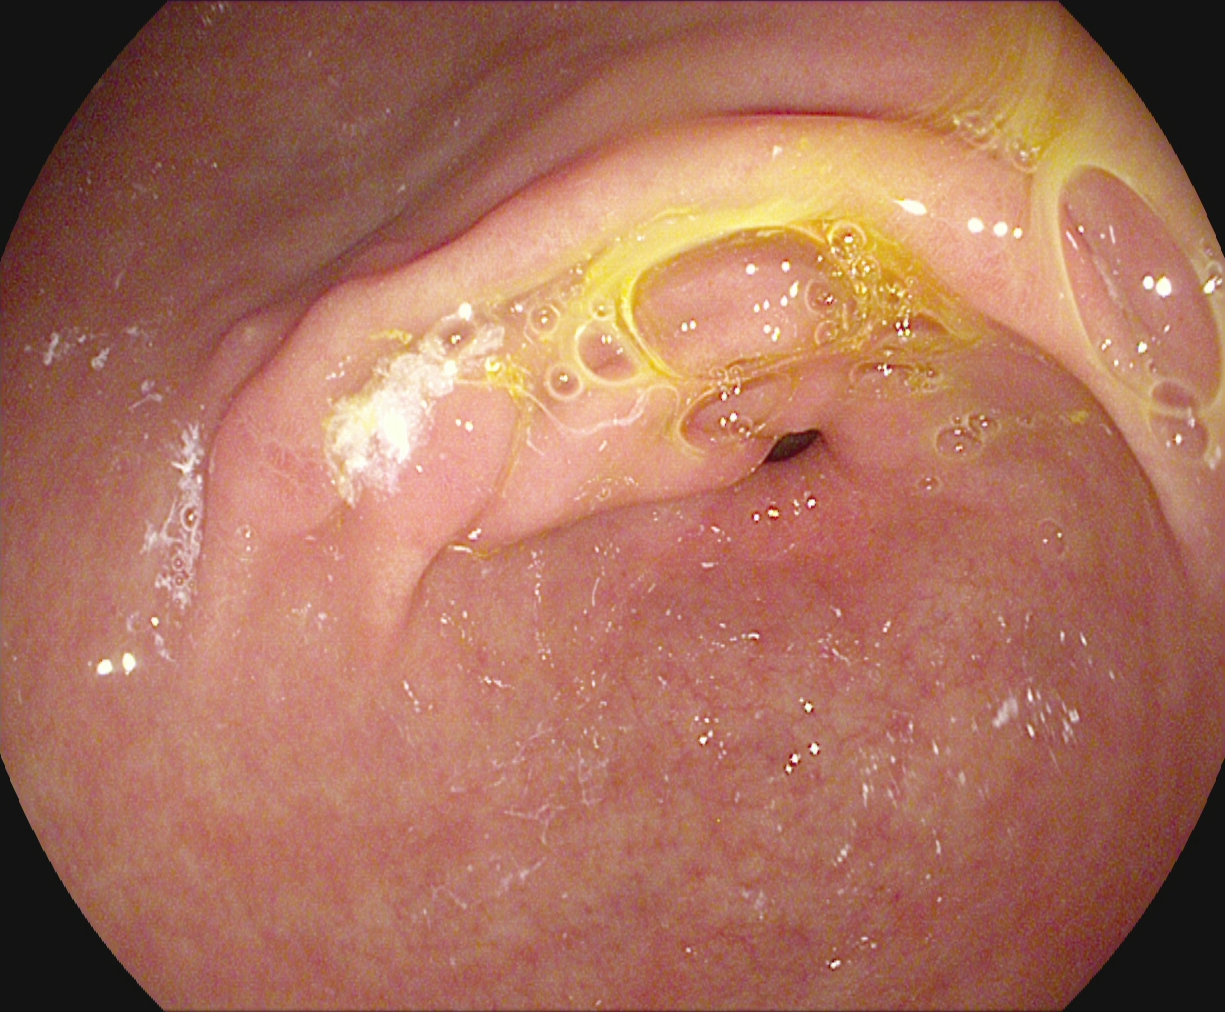Pylorus.